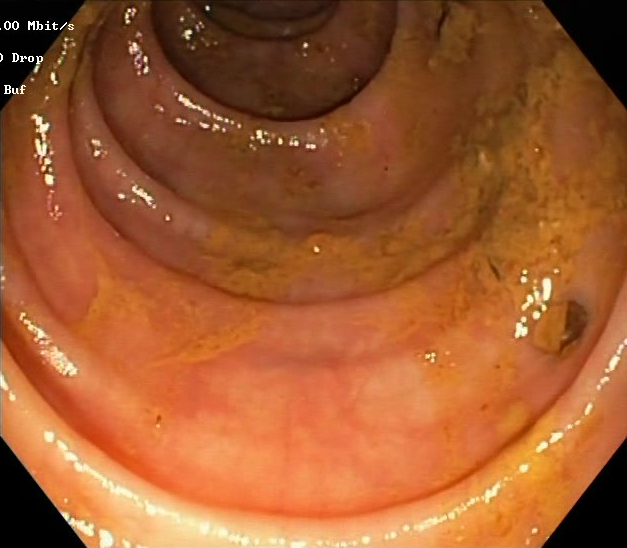Boston Bowel Preparation Scale score 0–1 (inadequate preparation).